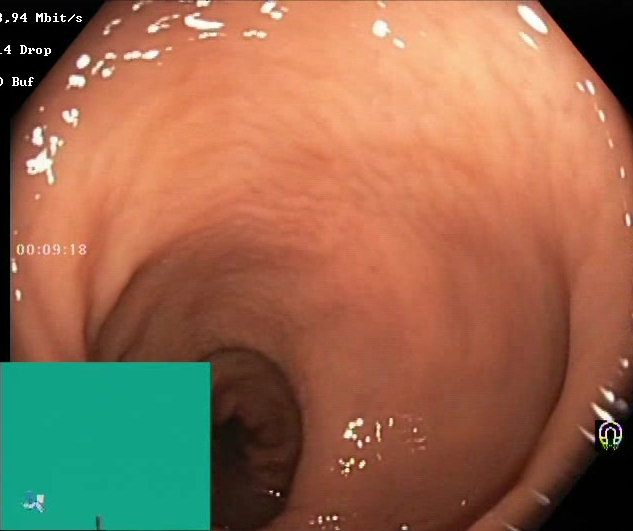This endoscopic image of the lower GI tract shows Boston Bowel Preparation Scale score 2–3 (adequate preparation).